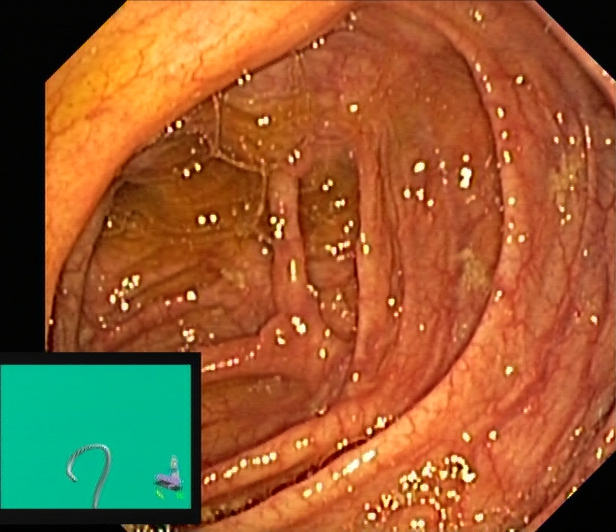Gastrointestinal endoscopy image showing cecum.